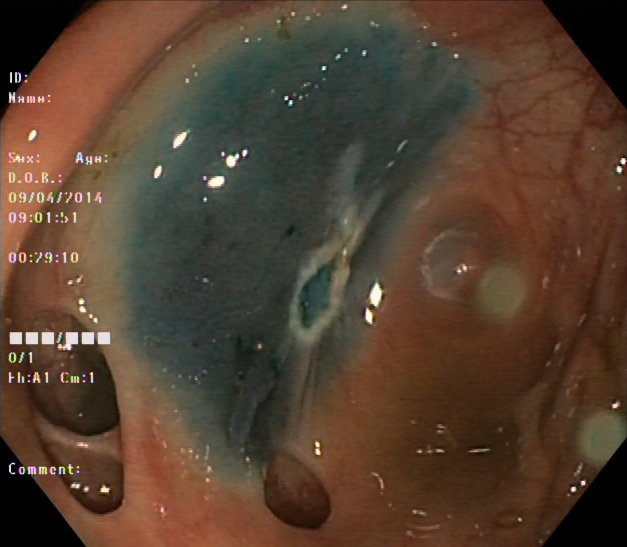Dyed resection margins (post-polypectomy).